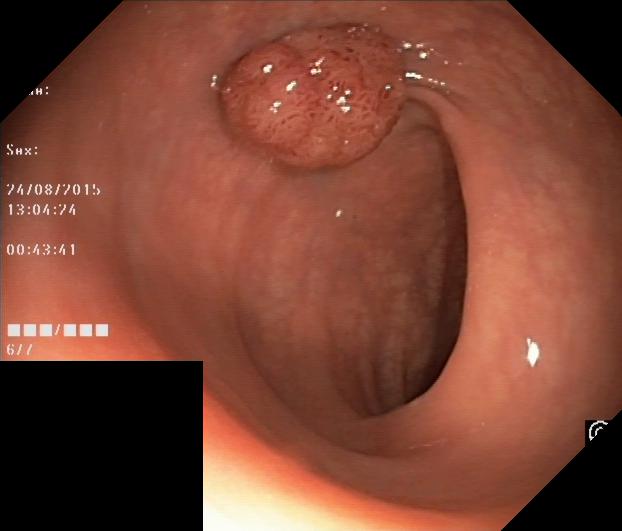This endoscopic image of the lower GI tract shows colorectal polyp(s).